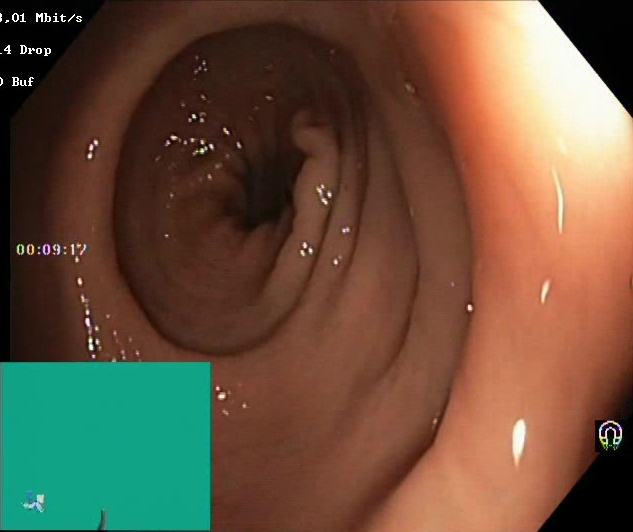Lower gastrointestinal endoscopy. Tract: lower GI tract. Finding: BBPS score 2–3 (adequate preparation).